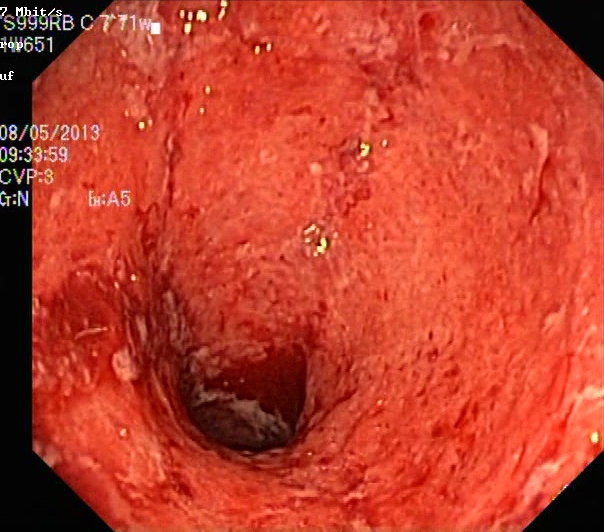Lower gastrointestinal endoscopy. Finding: ulcerative colitis, Mayo endoscopic subscore 3.